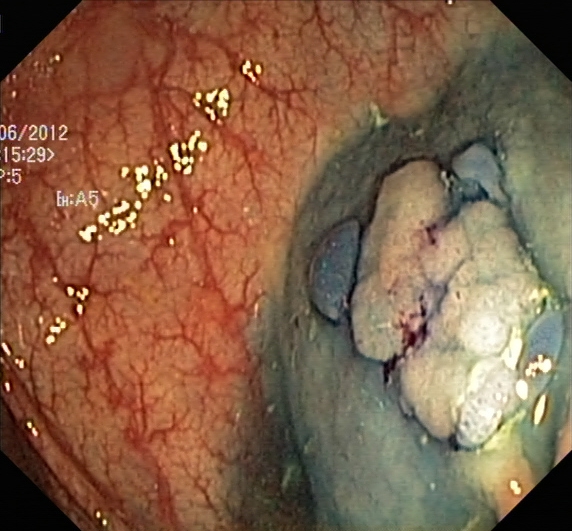PROCEDURE: Colonoscopy.
CATEGORY: Therapeutic intervention.
FINDINGS: Dyed and lifted polyp (pre-resection).